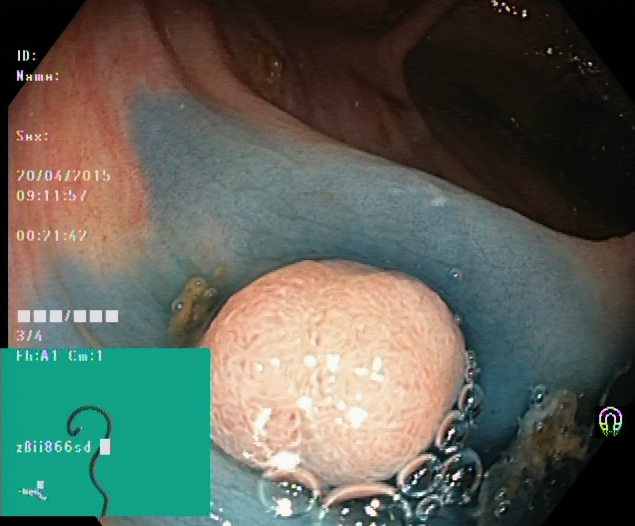{"modality": "colonoscopy", "category": "therapeutic intervention", "finding": "dyed and lifted polyp (pre-resection)"}